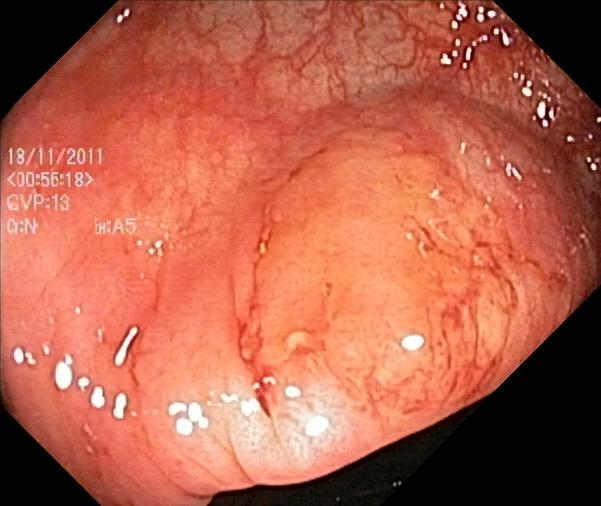Lower-GI endoscopy. Tract: lower GI tract. Finding: colorectal polyp(s).